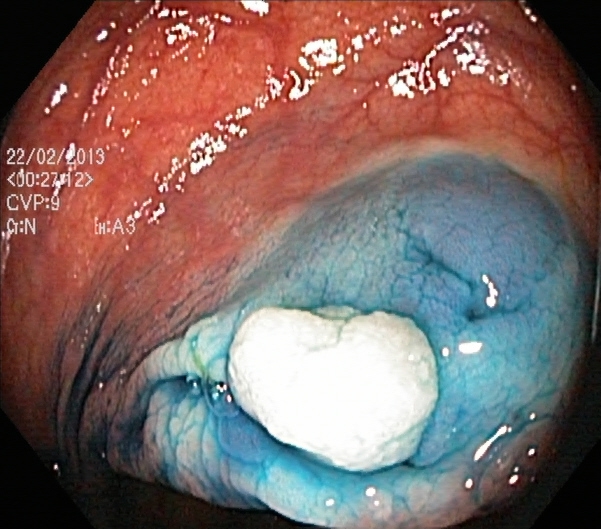Dyed and lifted polyp (pre-resection).